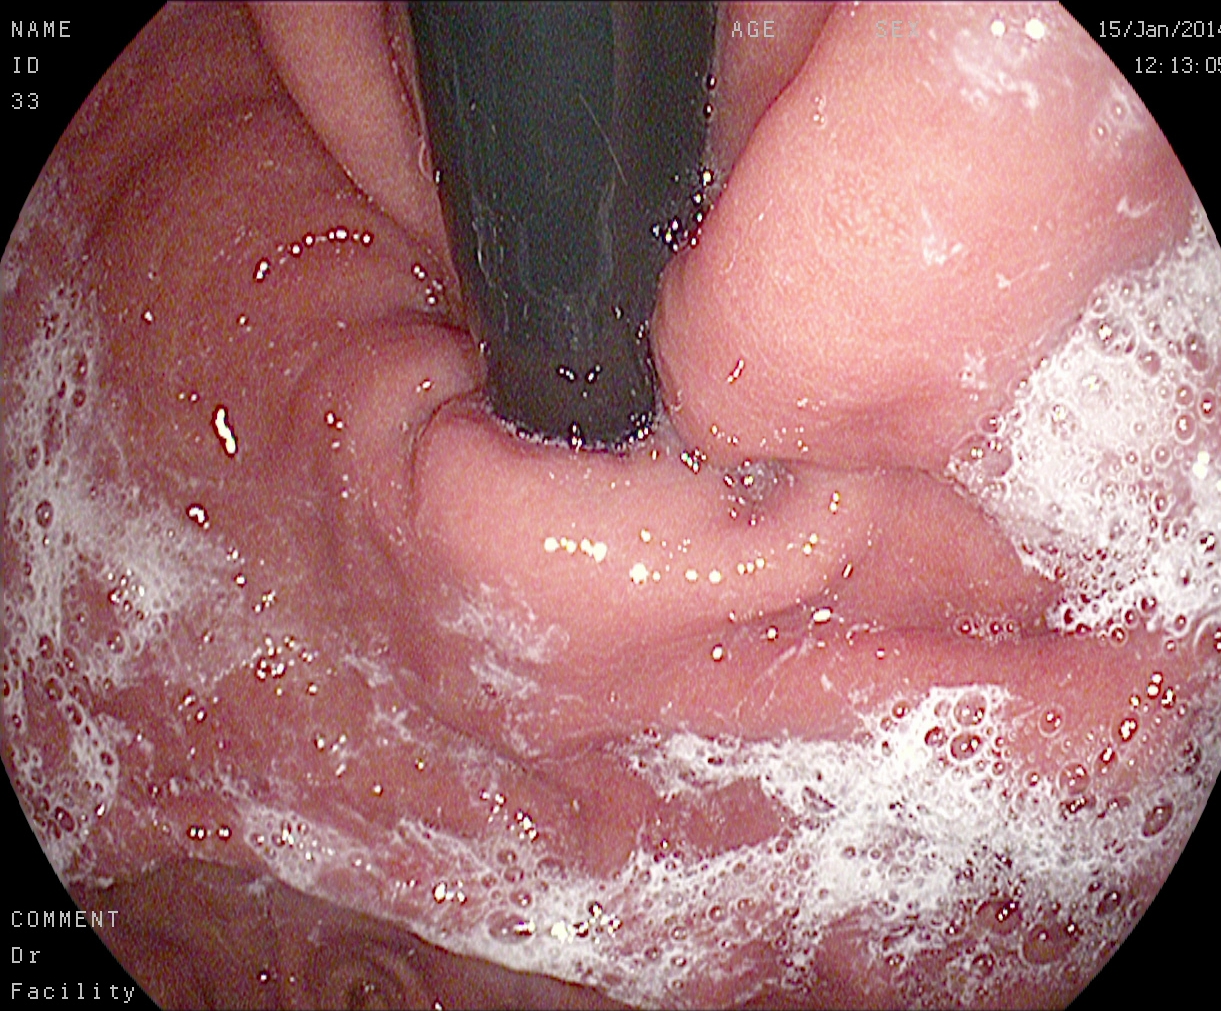Upper-GI endoscopy. Tract: upper GI tract. Finding: stomach in retroflexion.